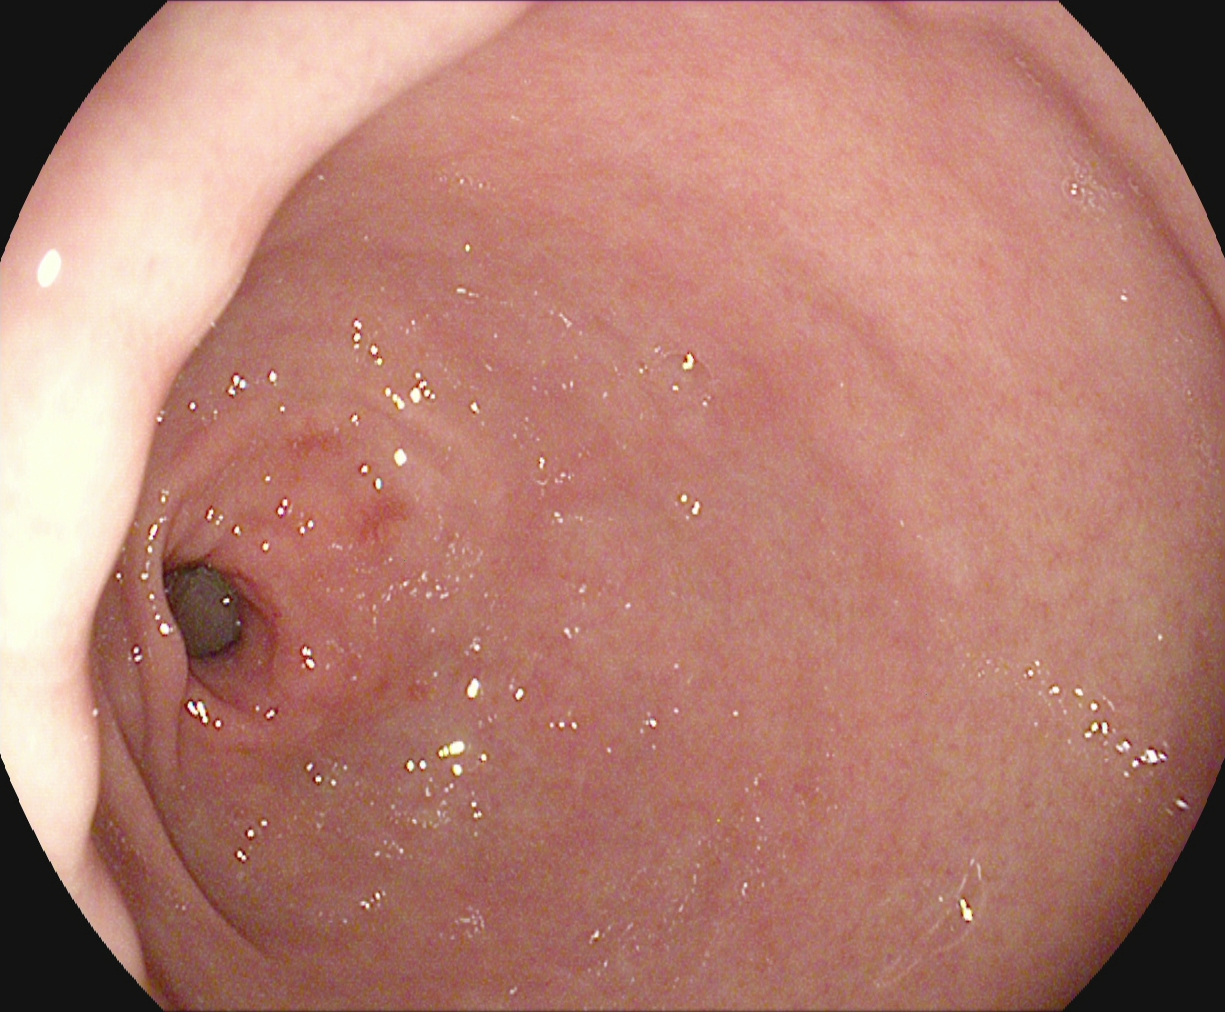Endoscopic frame showing pylorus.